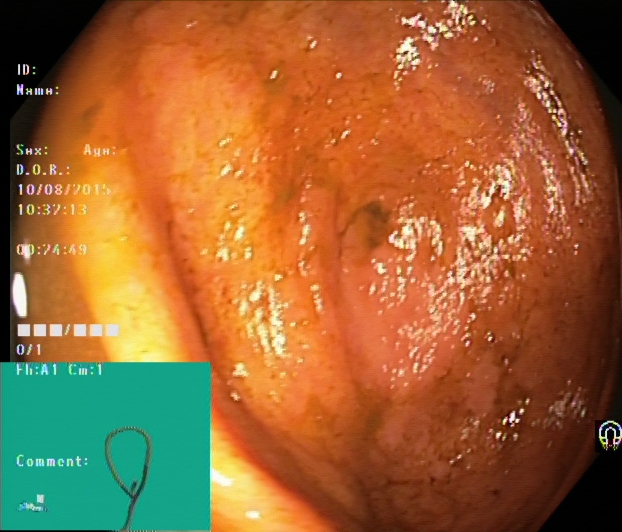{"modality": "colonoscopy", "finding": "cecum"}